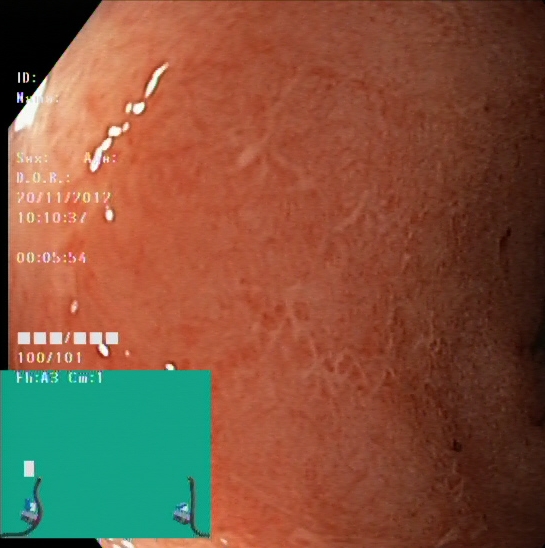Endoscopy image of the lower GI tract showing ulcerative colitis, Mayo endoscopic subscore 2.